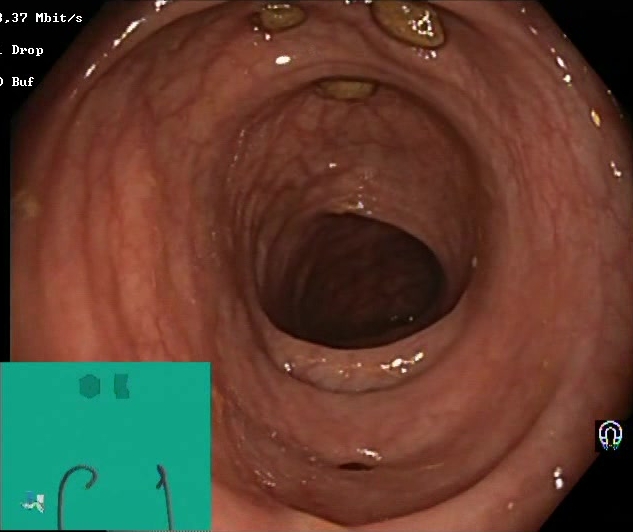PROCEDURE: Lower gastrointestinal endoscopy.
FINDINGS: Impacted stool.